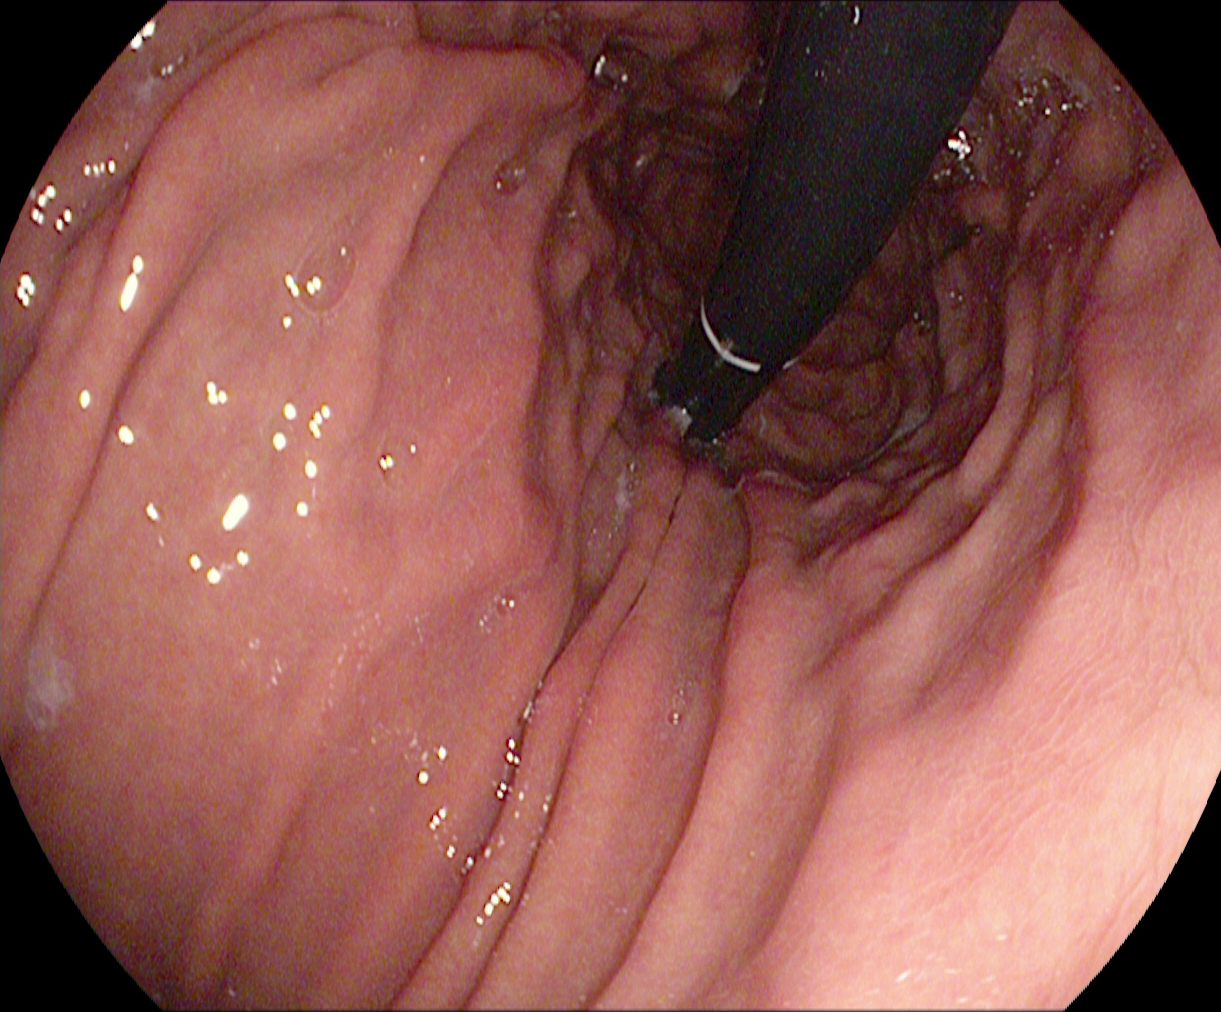This endoscopic image shows stomach in retroflexion.